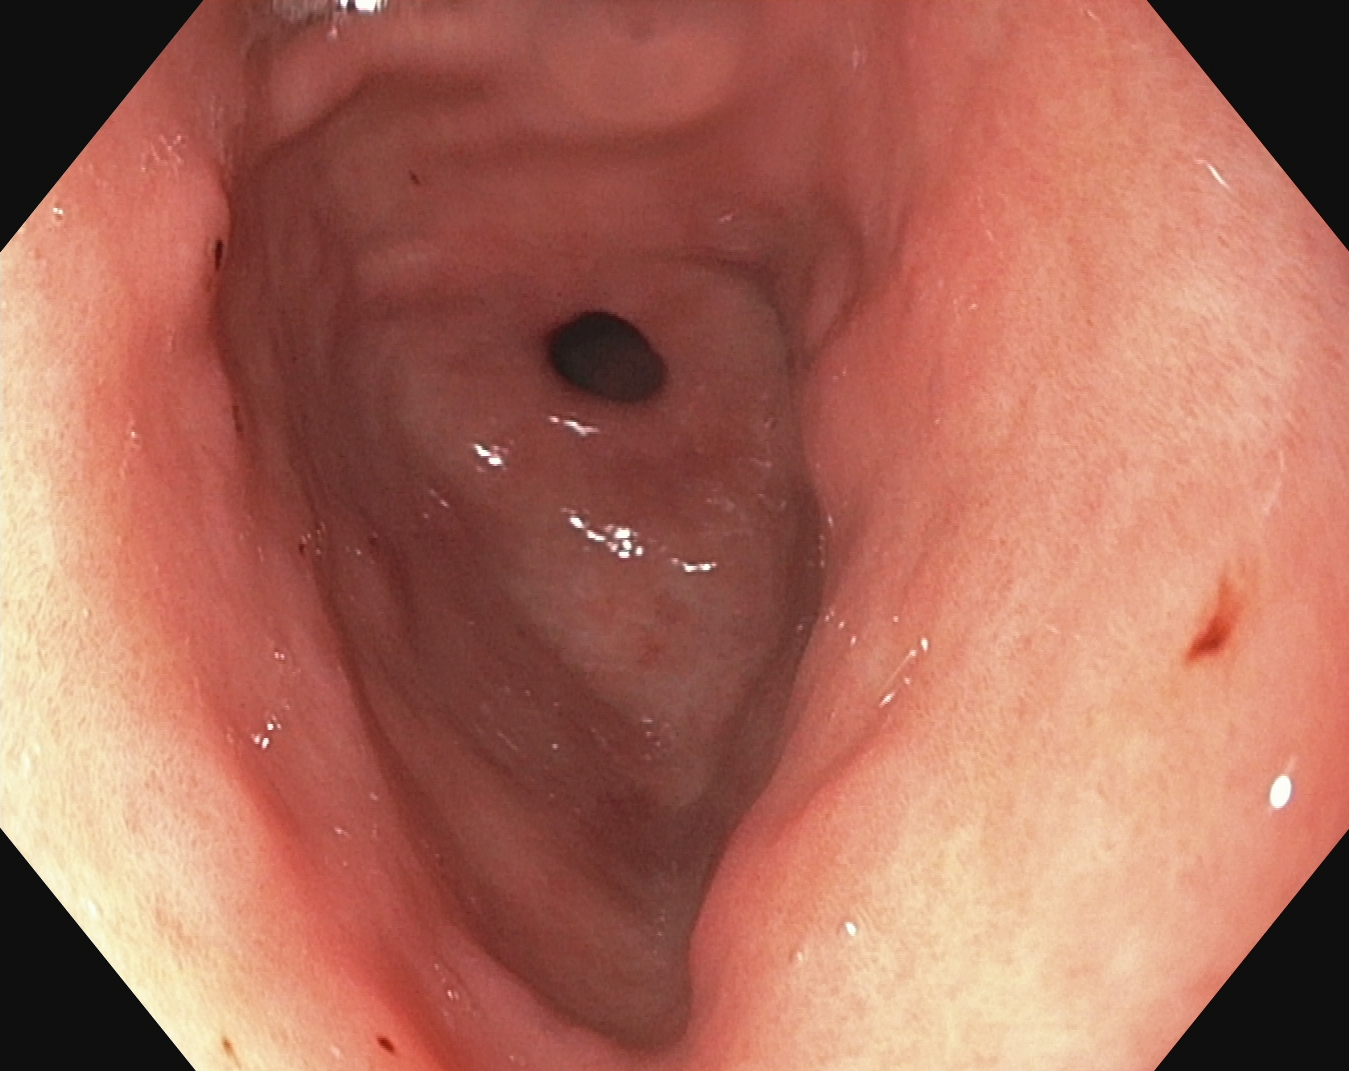{"modality": "EGD", "finding": "pylorus"}